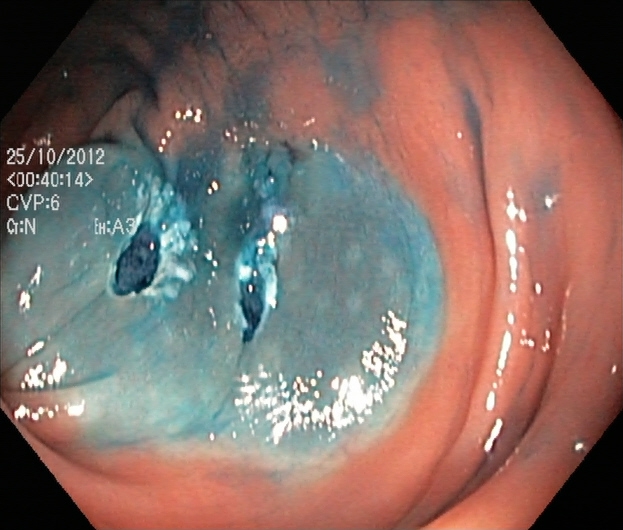PROCEDURE: Lower-GI endoscopy.
FINDINGS: Dyed resection margins (post-polypectomy).